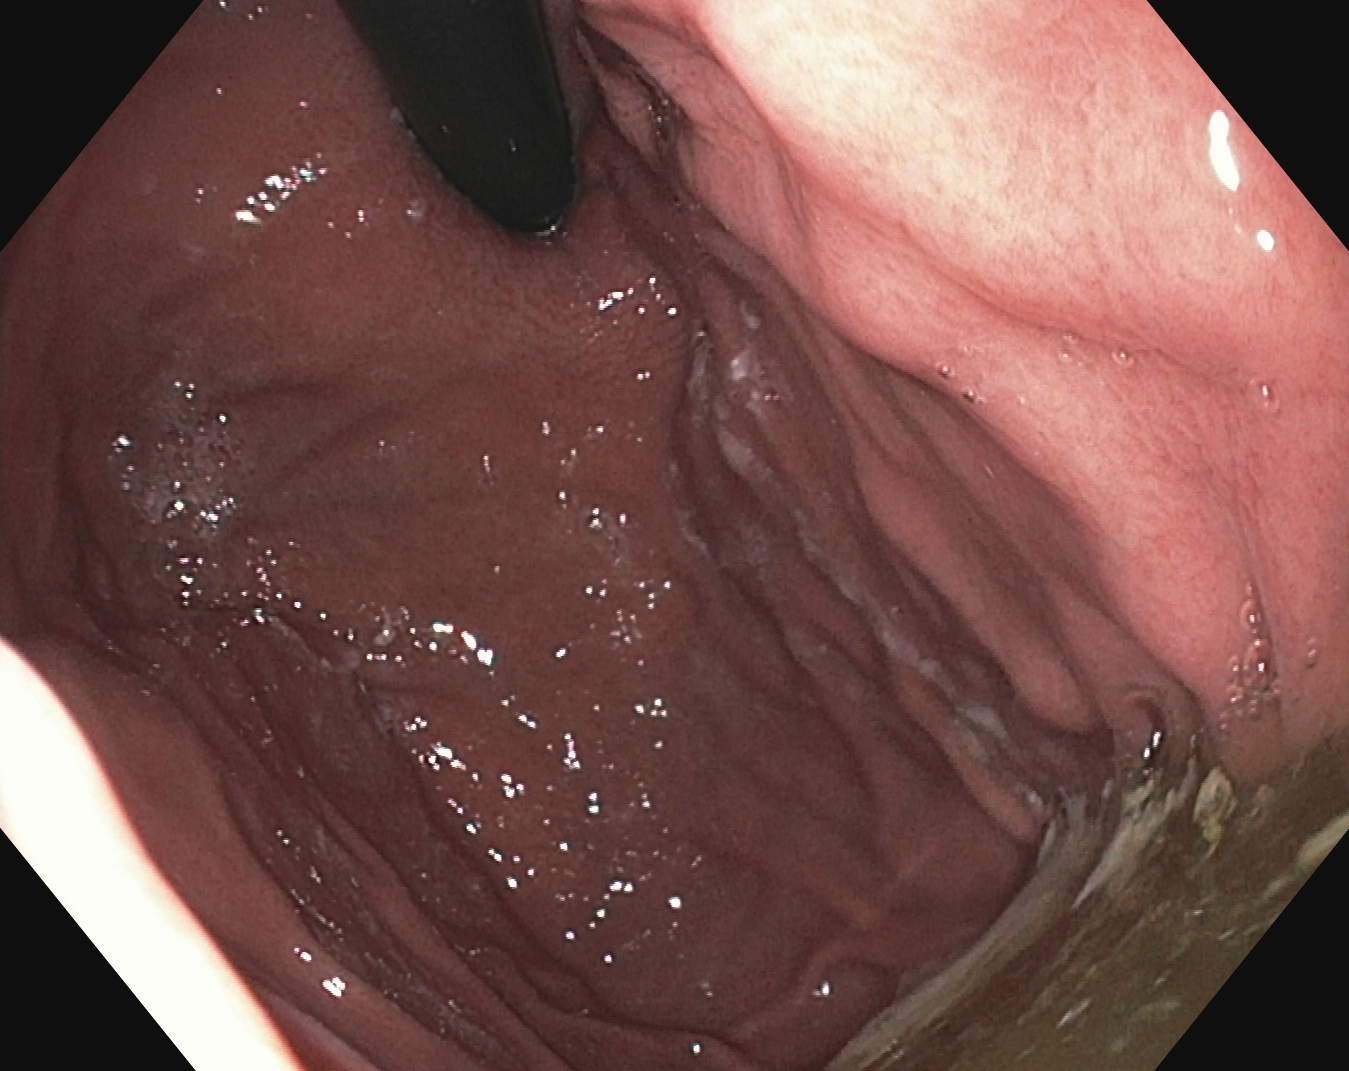This endoscopy frame shows stomach in retroflexion.